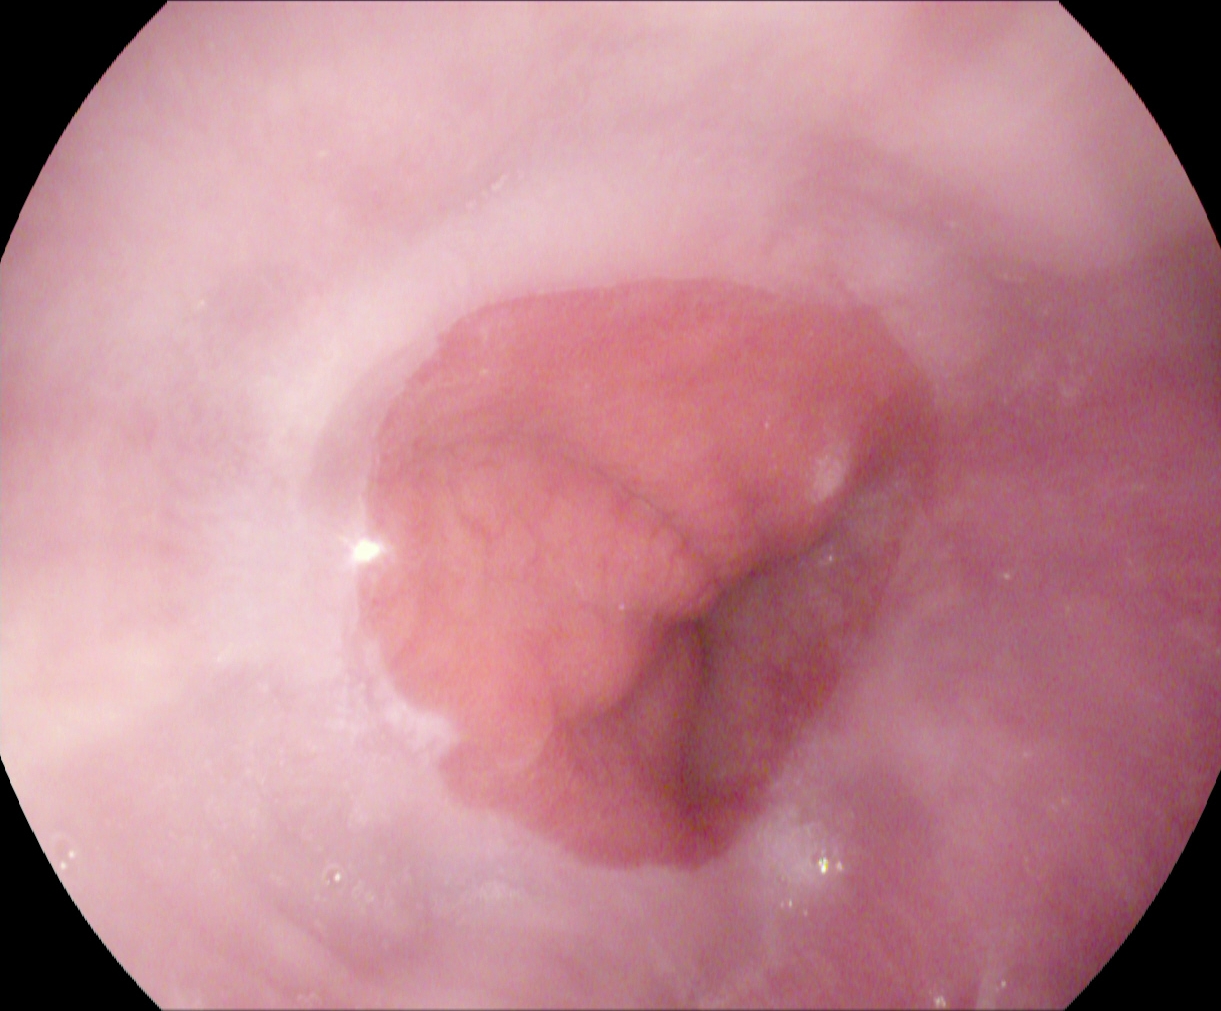Endoscopic image of the upper GI tract showing Z-line (gastroesophageal junction).